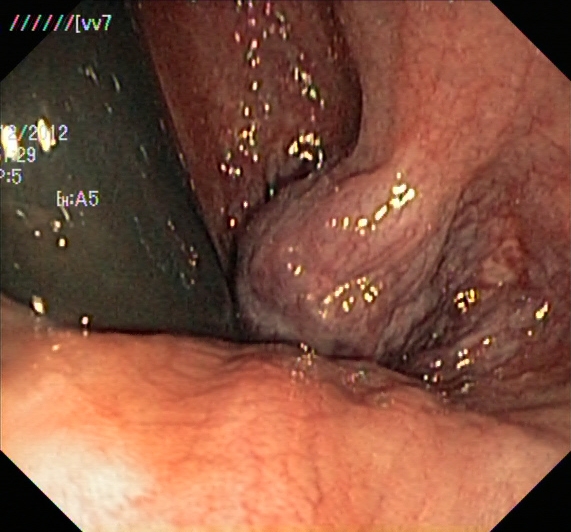PROCEDURE: Lower gastrointestinal endoscopy.
FINDINGS: Hemorrhoids.